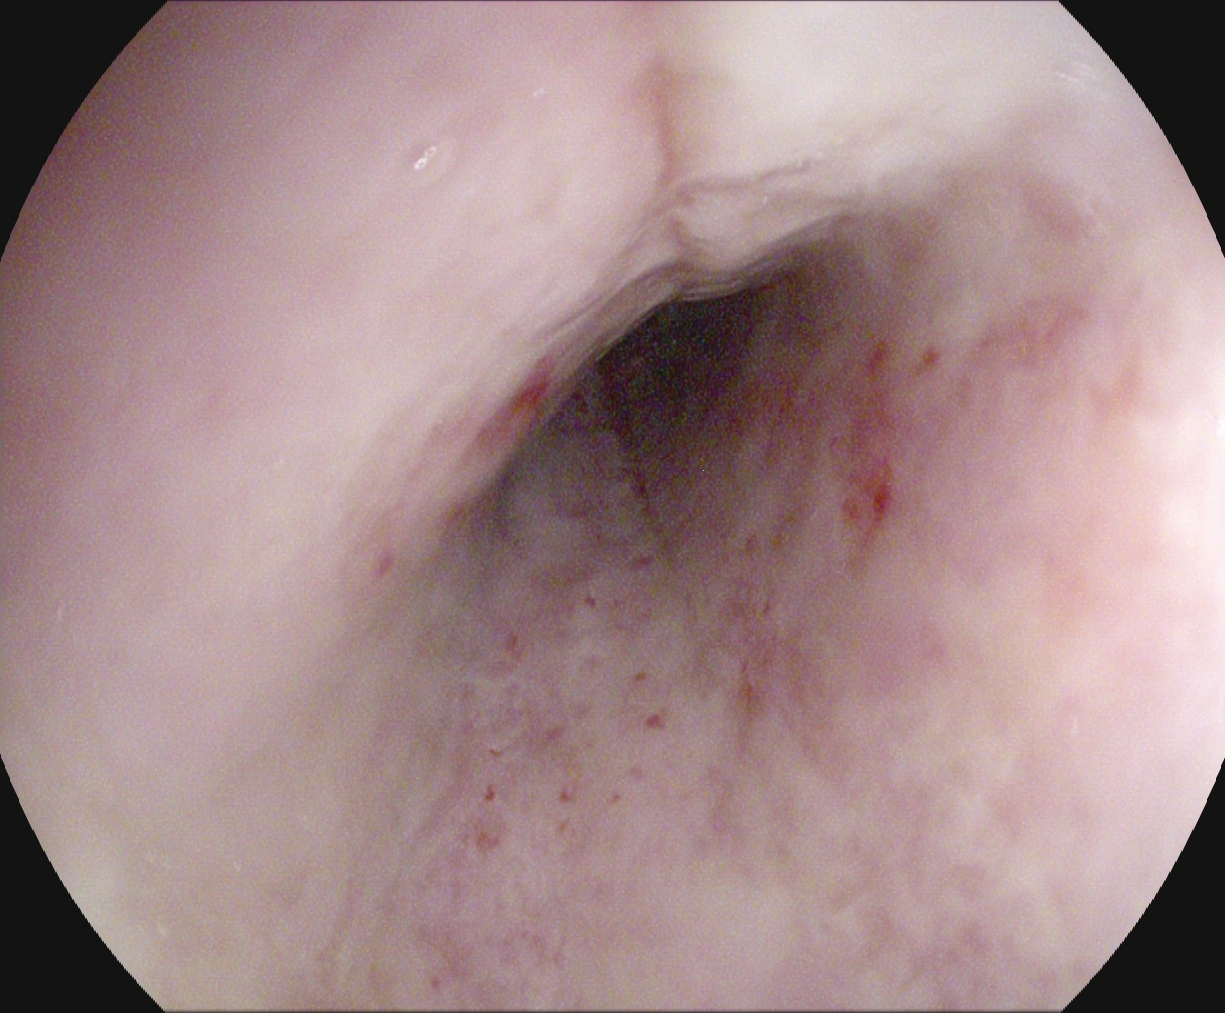This endoscopic image shows reflux esophagitis, LA grade B–D.